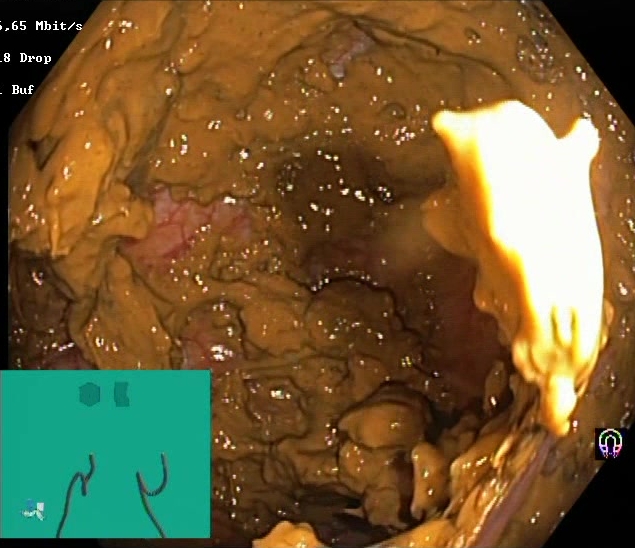Lower-GI endoscopy image of the lower GI tract showing Boston Bowel Preparation Scale score 0–1 (inadequate preparation).